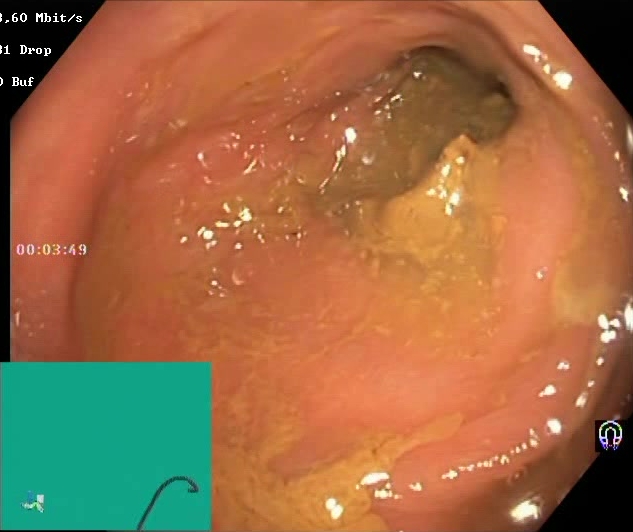Lower gastrointestinal endoscopy. Finding: Boston Bowel Preparation Scale score 0–1 (inadequate preparation).